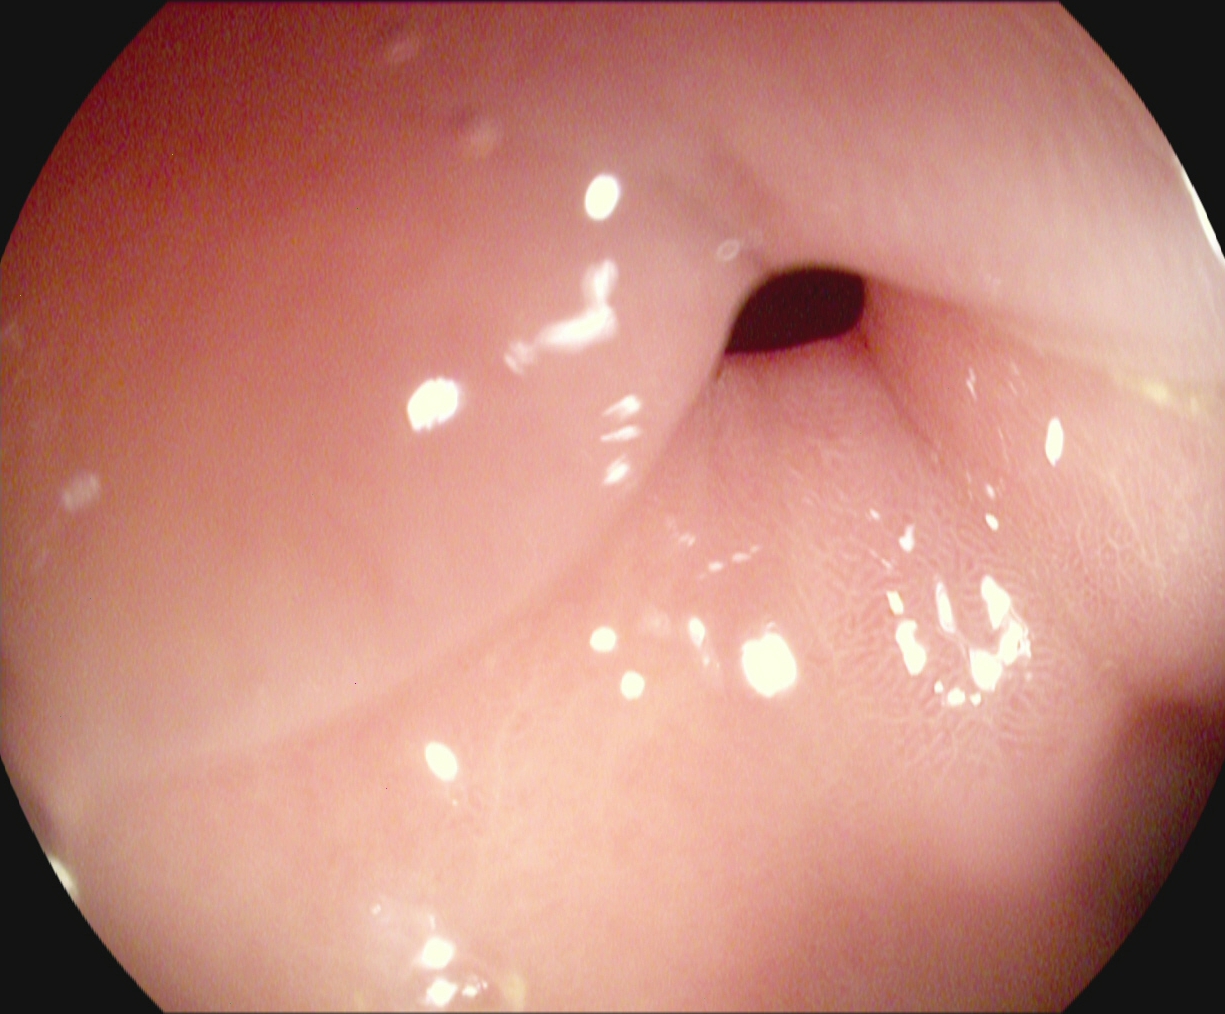Upper-GI endoscopy — pylorus.